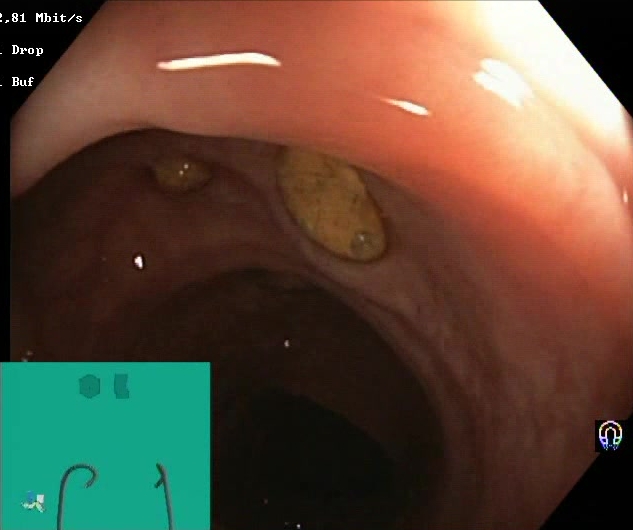{"modality": "lower-GI endoscopy", "category": "mucosal-view quality", "finding": "impacted stool"}